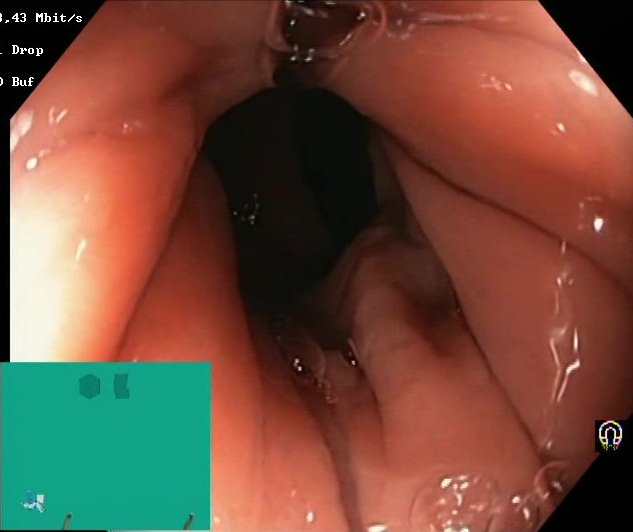Lower gastrointestinal endoscopy — BBPS score 2–3 (adequate preparation).